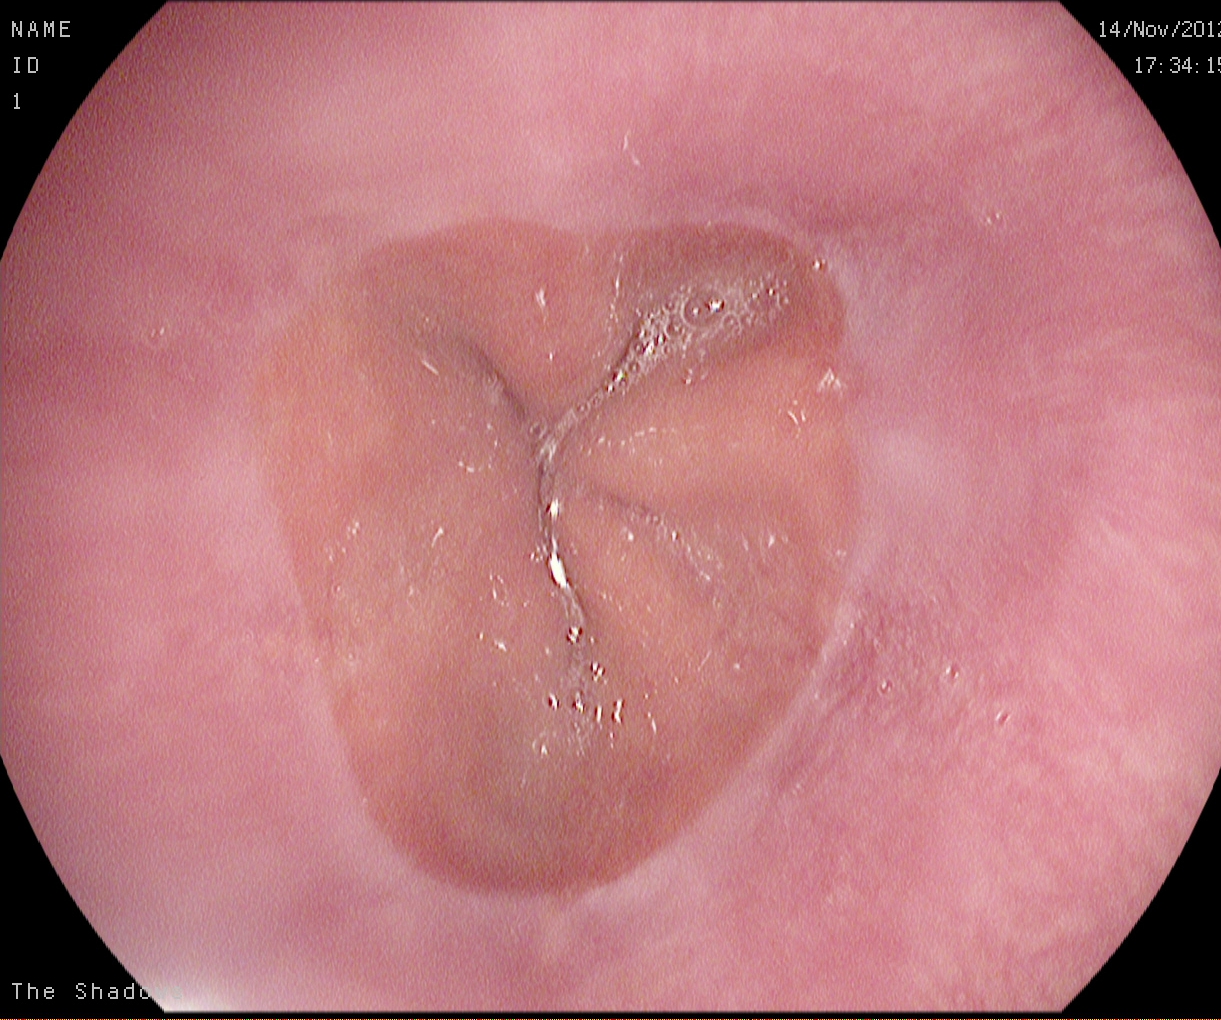Upper-GI endoscopy. Tract: upper GI tract. Finding: Z-line (gastroesophageal junction).